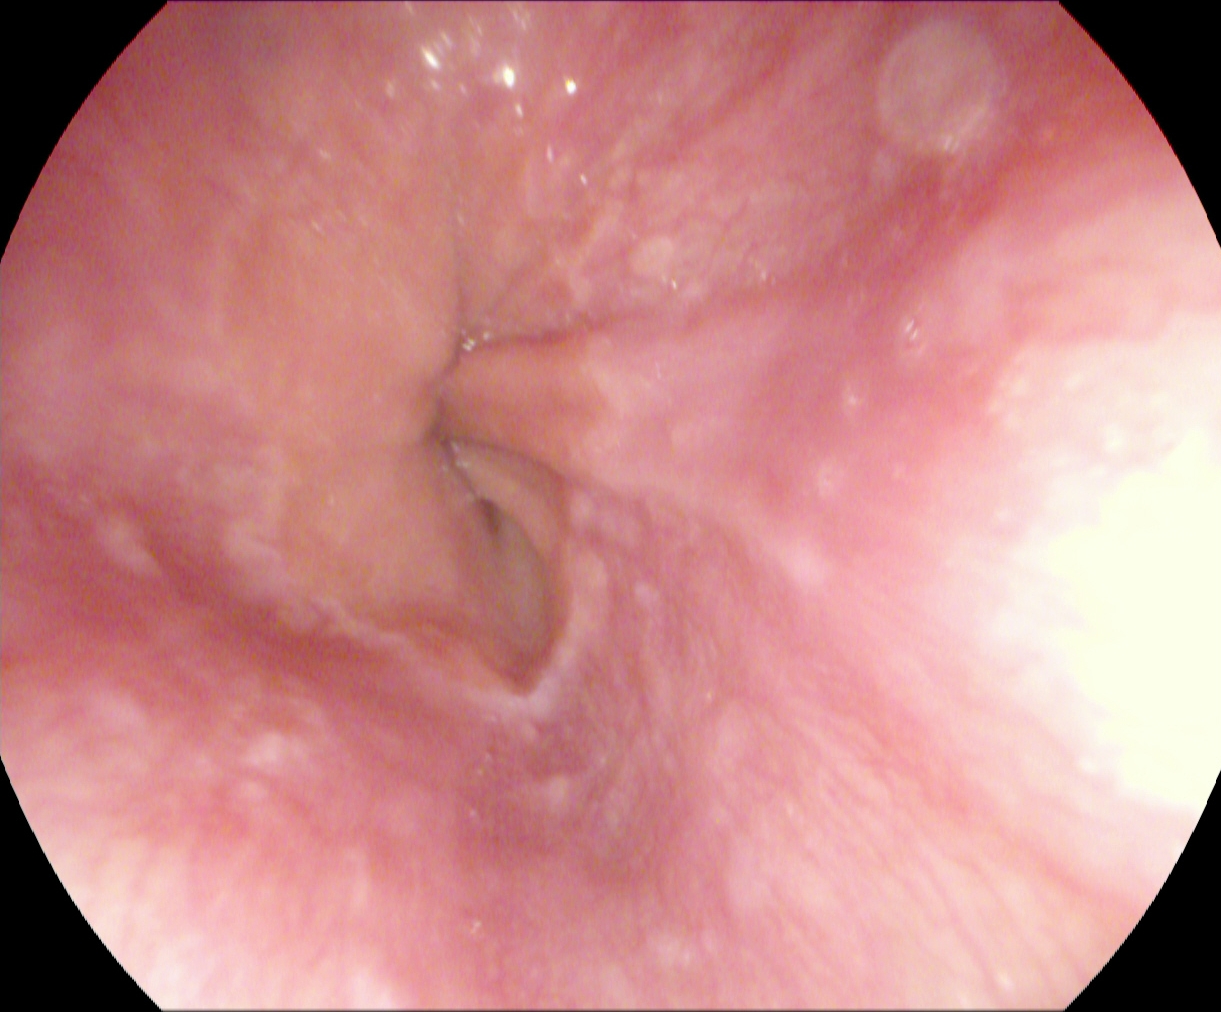This endoscopic image shows Z-line (gastroesophageal junction).